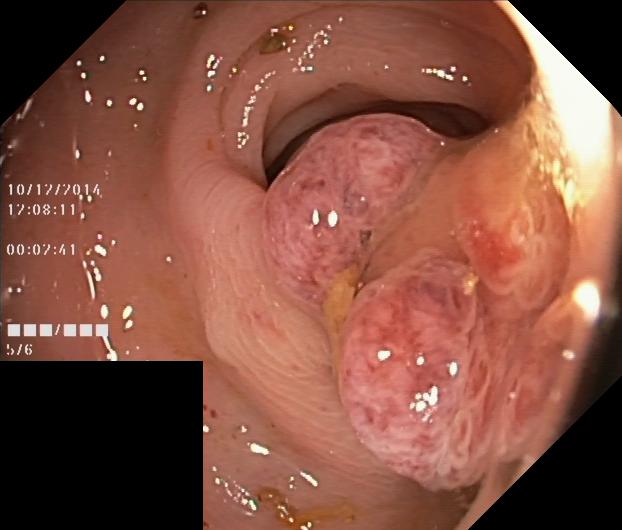This endoscopic image of the lower GI tract shows colorectal polyp(s).